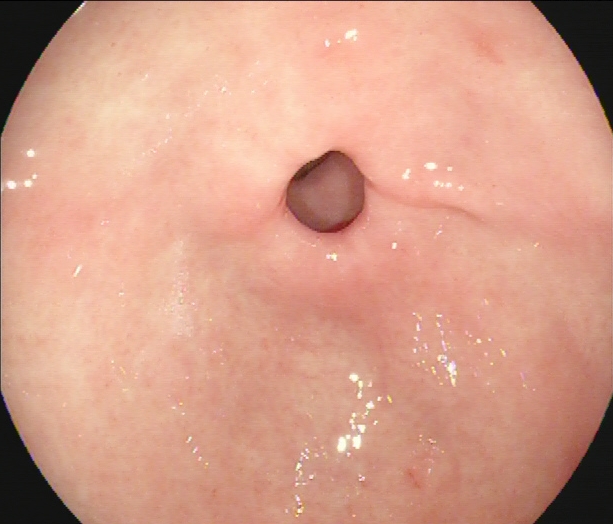This endoscopic image shows pylorus.